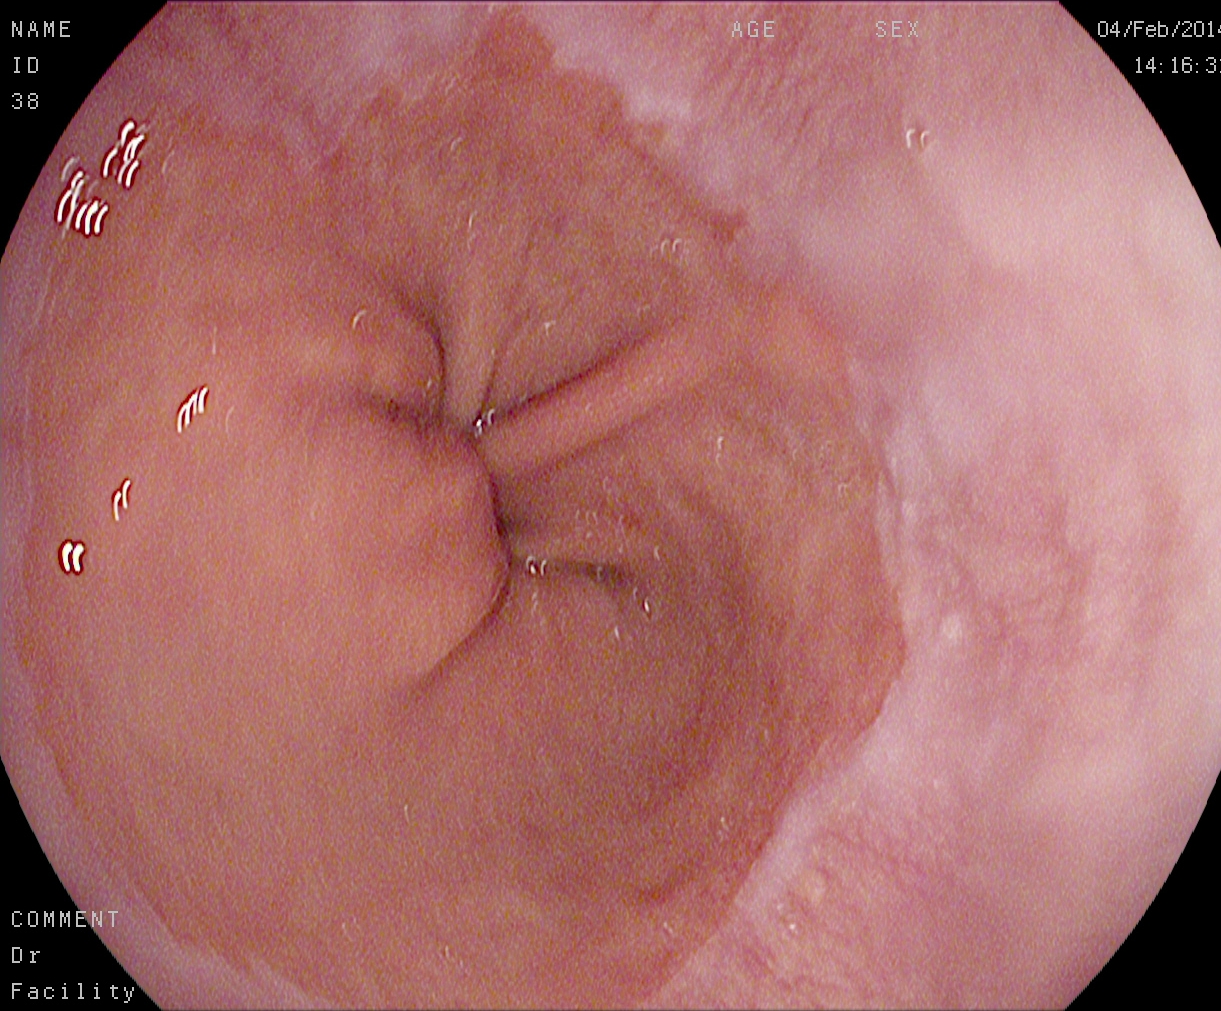{"modality": "esophagogastroduodenoscopy", "tract": "upper GI tract", "category": "anatomical landmark", "finding": "Z-line (gastroesophageal junction)"}